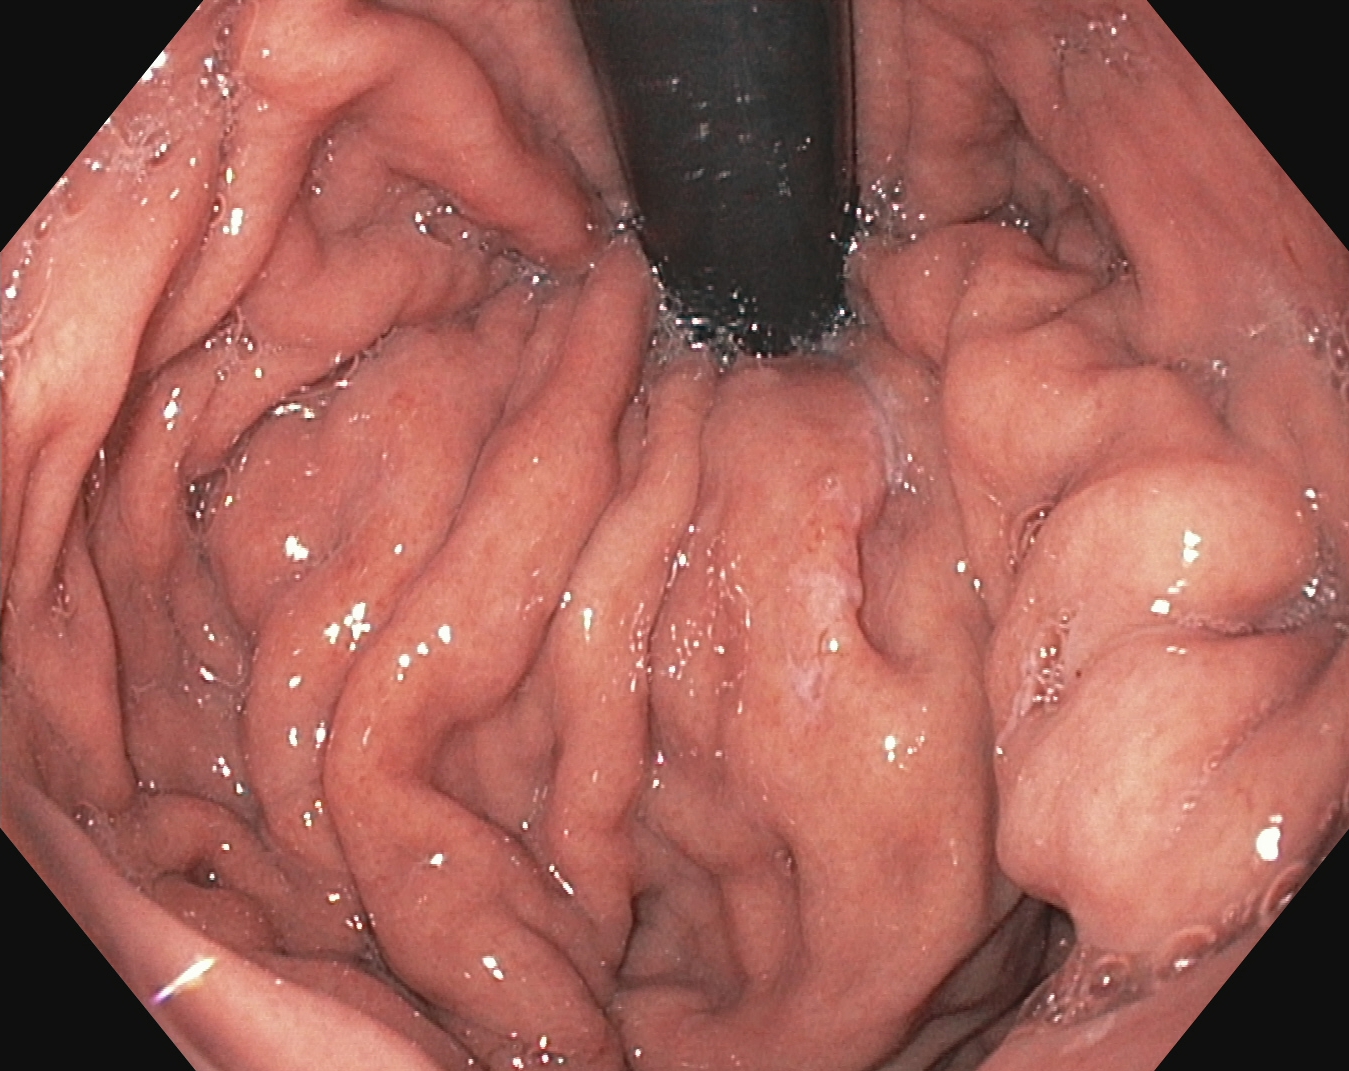Stomach in retroflexion.